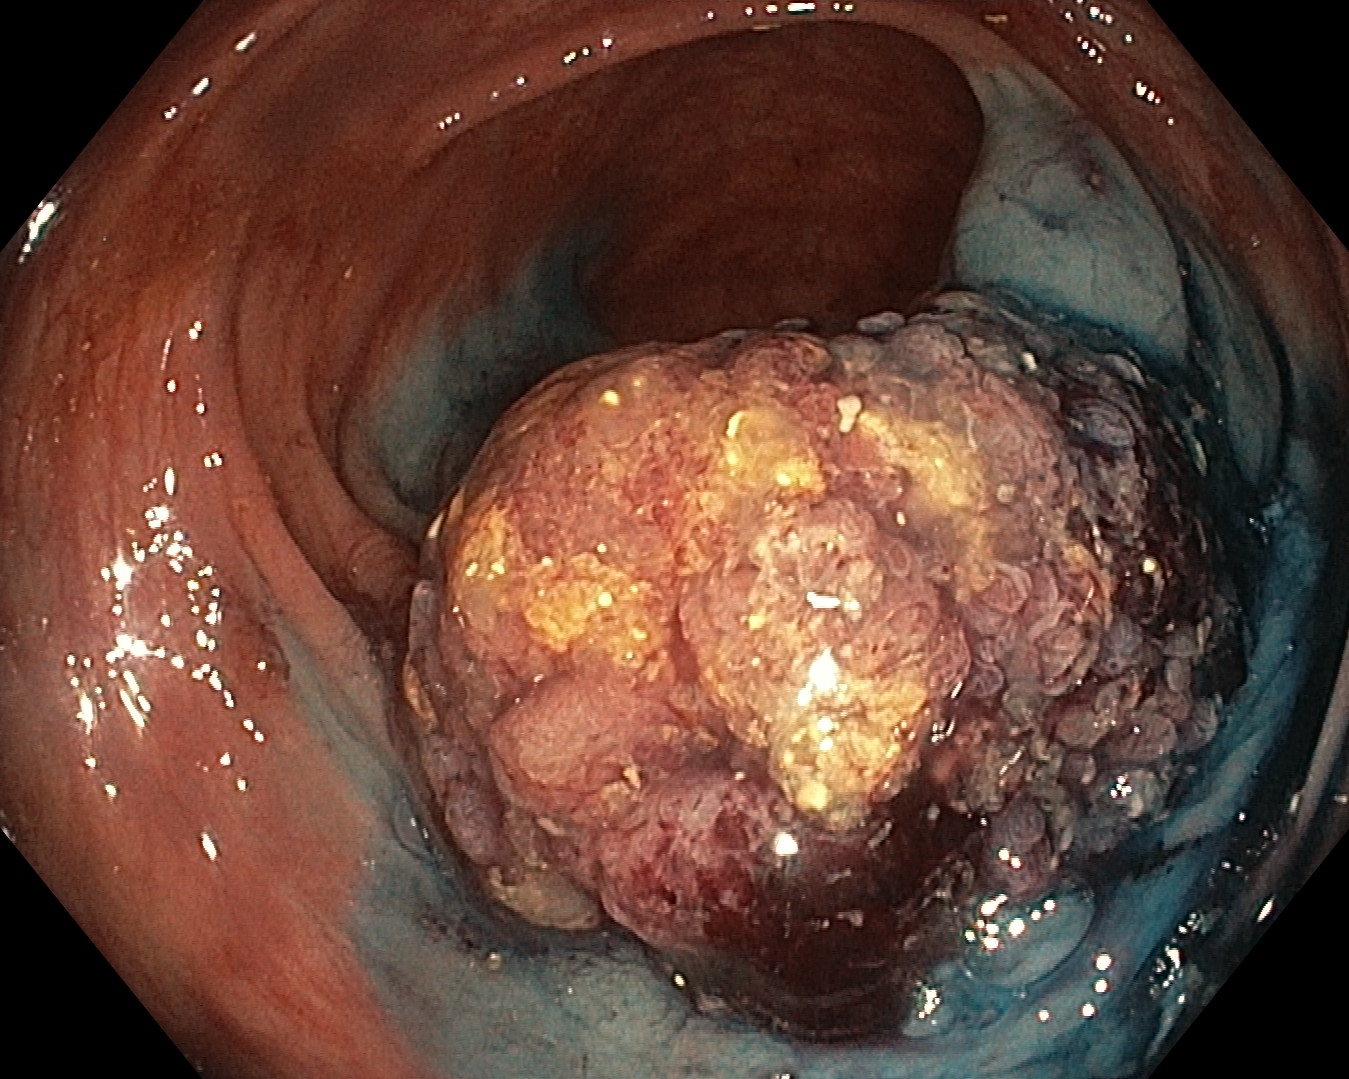Colonoscopy. Tract: lower GI tract. Therapeutic intervention. Finding: dyed and lifted polyp (pre-resection).